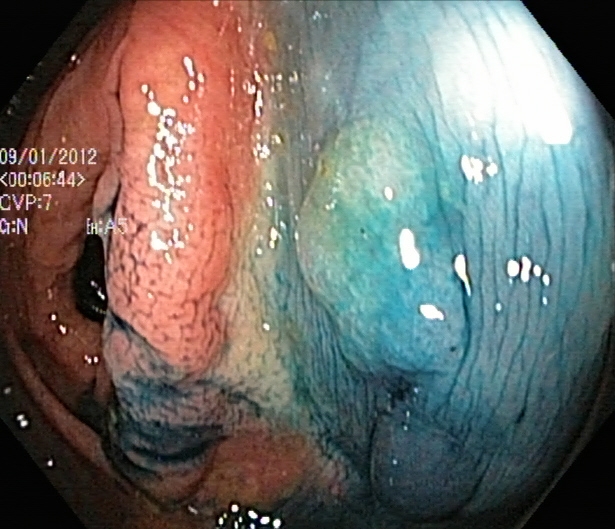Lower gastrointestinal endoscopy. Tract: lower GI tract. Finding: dyed and lifted polyp (pre-resection).